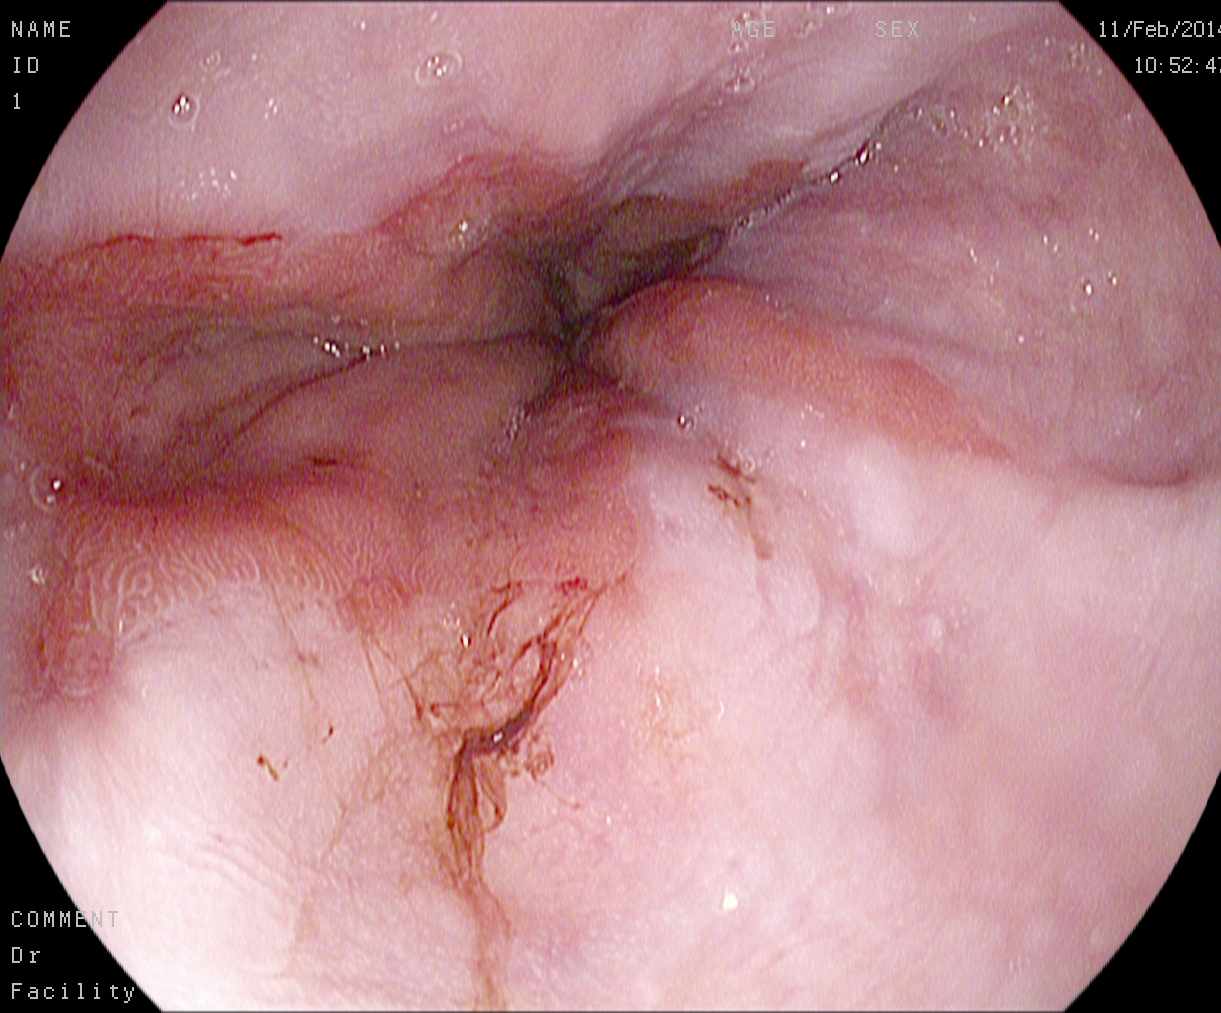PROCEDURE: Gastroscopy.
FINDINGS: Reflux esophagitis, Los Angeles grade B–D.